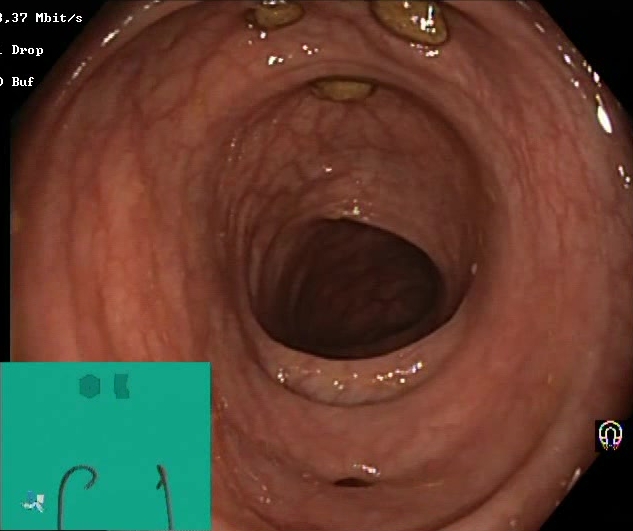PROCEDURE: Colonoscopy.
FINDINGS: Impacted stool.